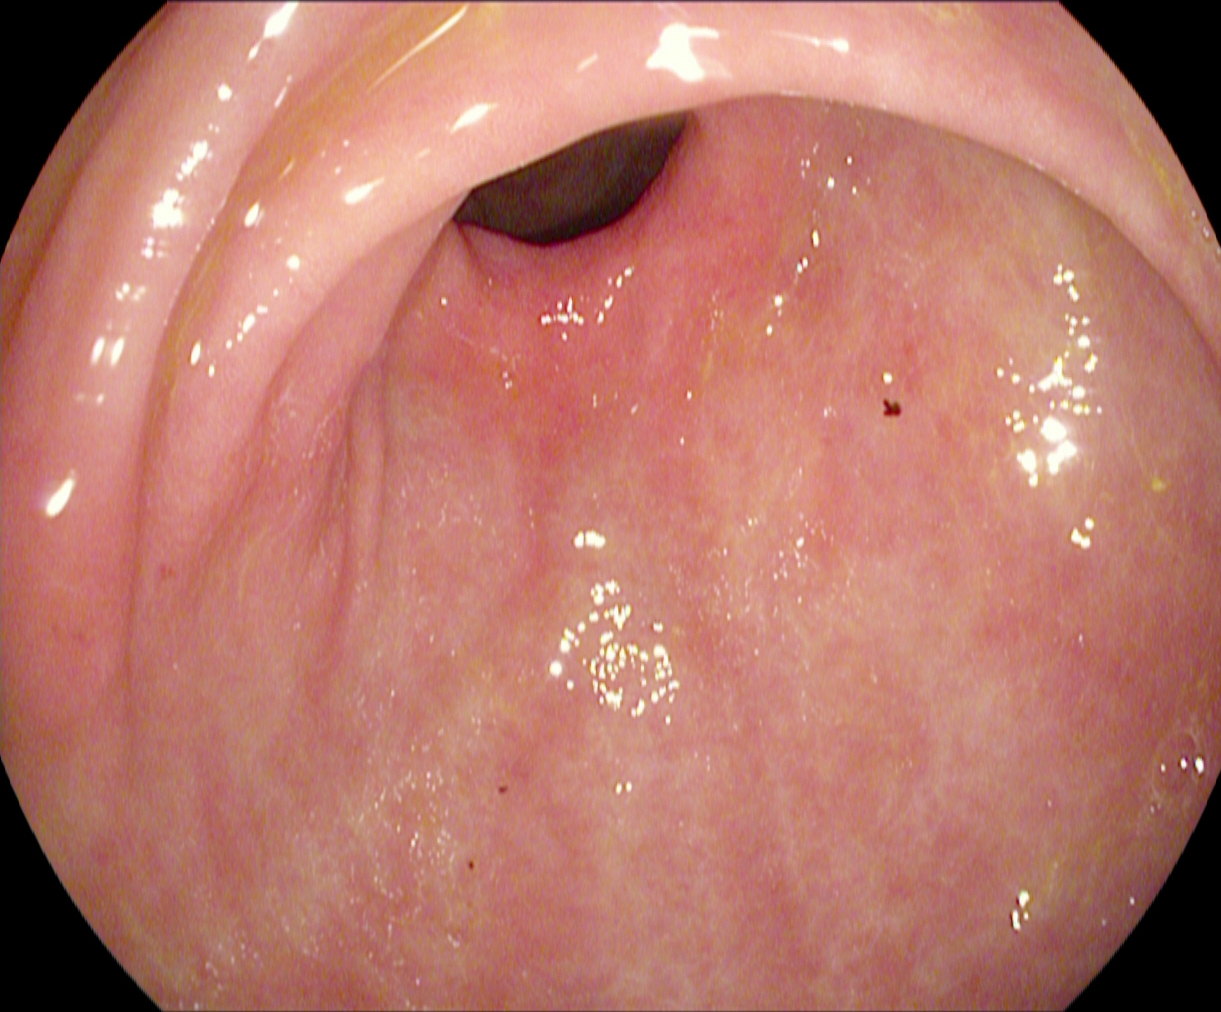{"modality": "gastroscopy", "finding": "pylorus"}